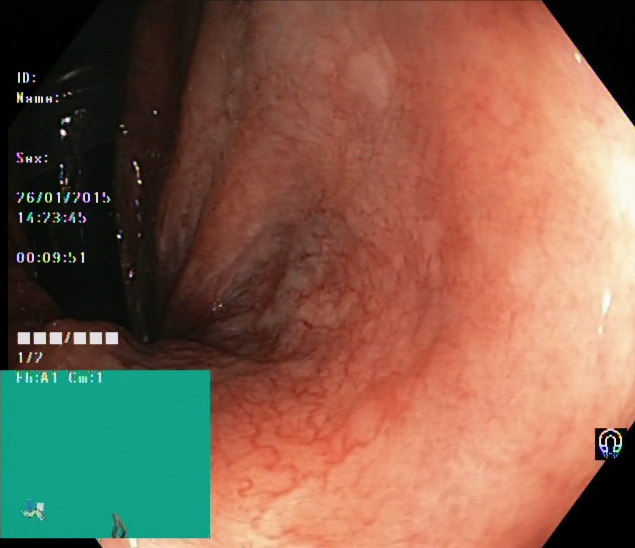PROCEDURE: Lower gastrointestinal endoscopy.
FINDINGS: Rectum in retroflexion.